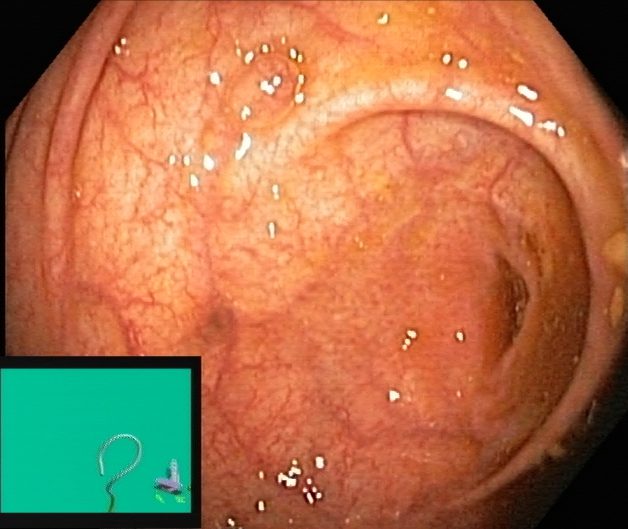cecum.